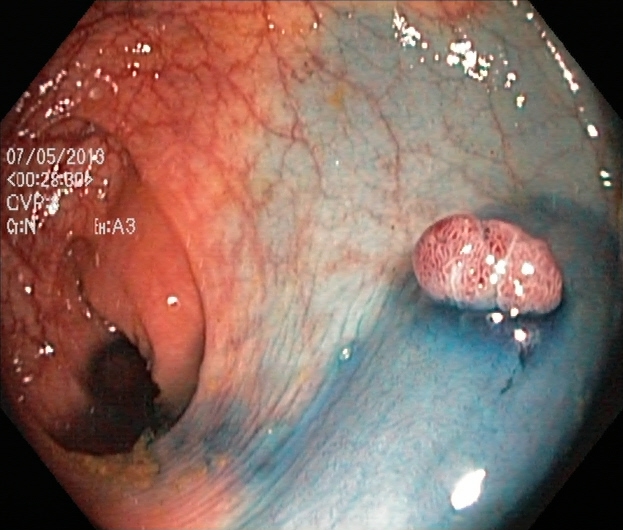This endoscopy frame shows dyed and lifted polyp (pre-resection).